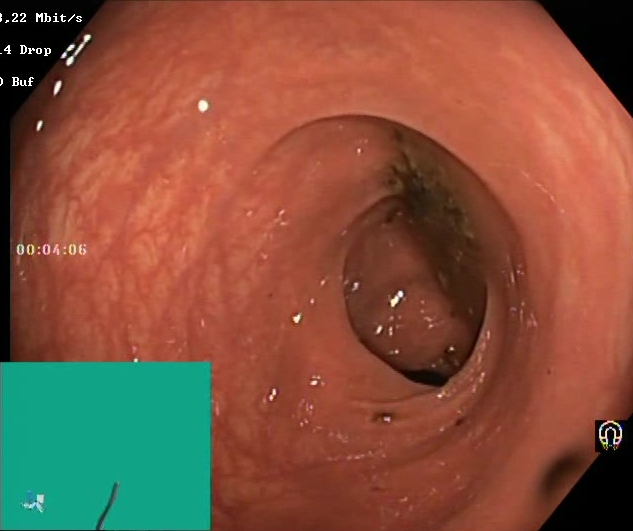PROCEDURE: Lower-GI endoscopy.
FINDINGS: Boston Bowel Preparation Scale score 0–1 (inadequate preparation).